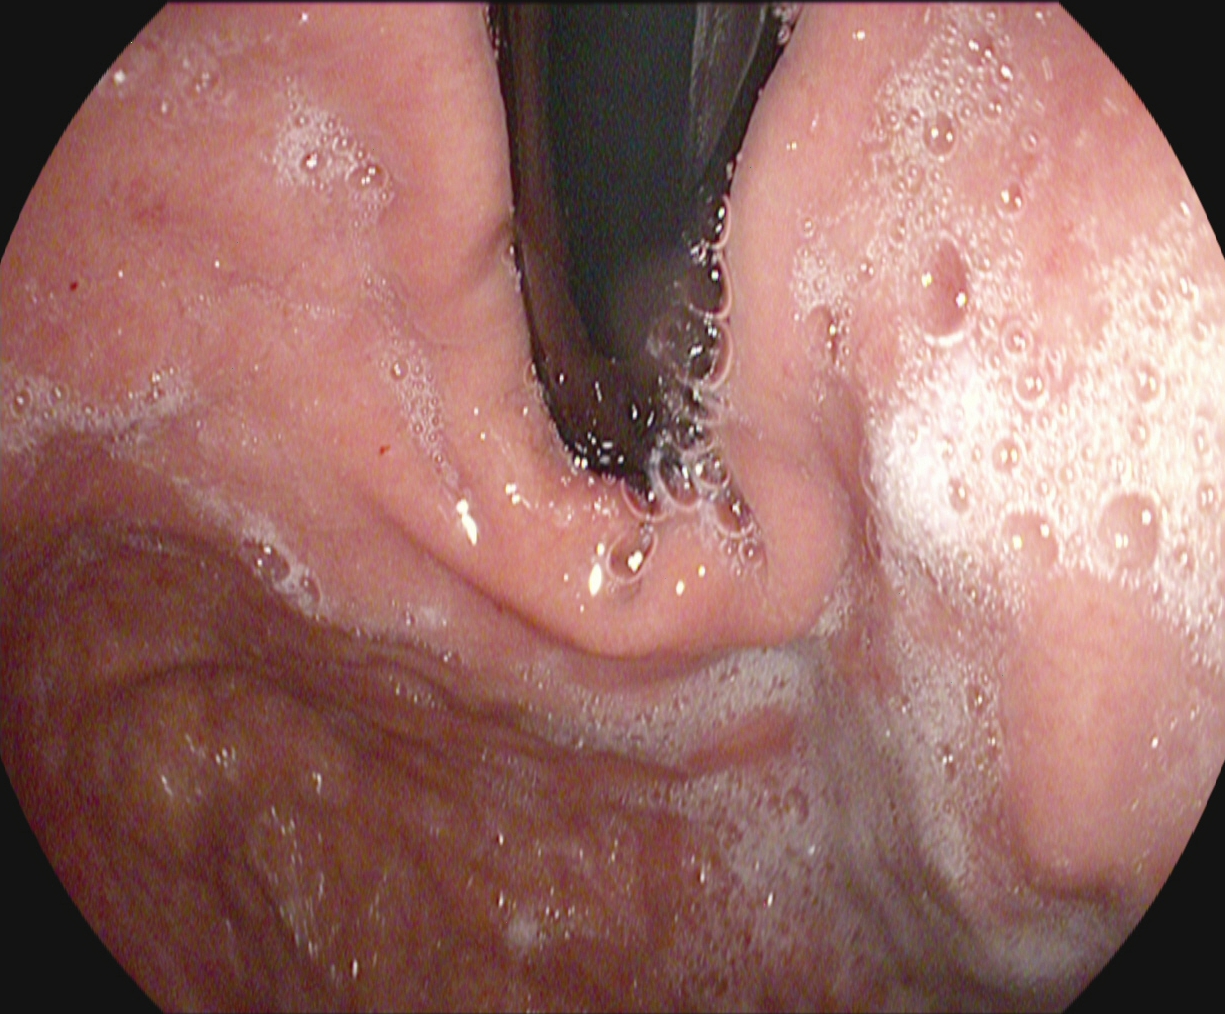This endoscopic image of the upper GI tract shows stomach in retroflexion.